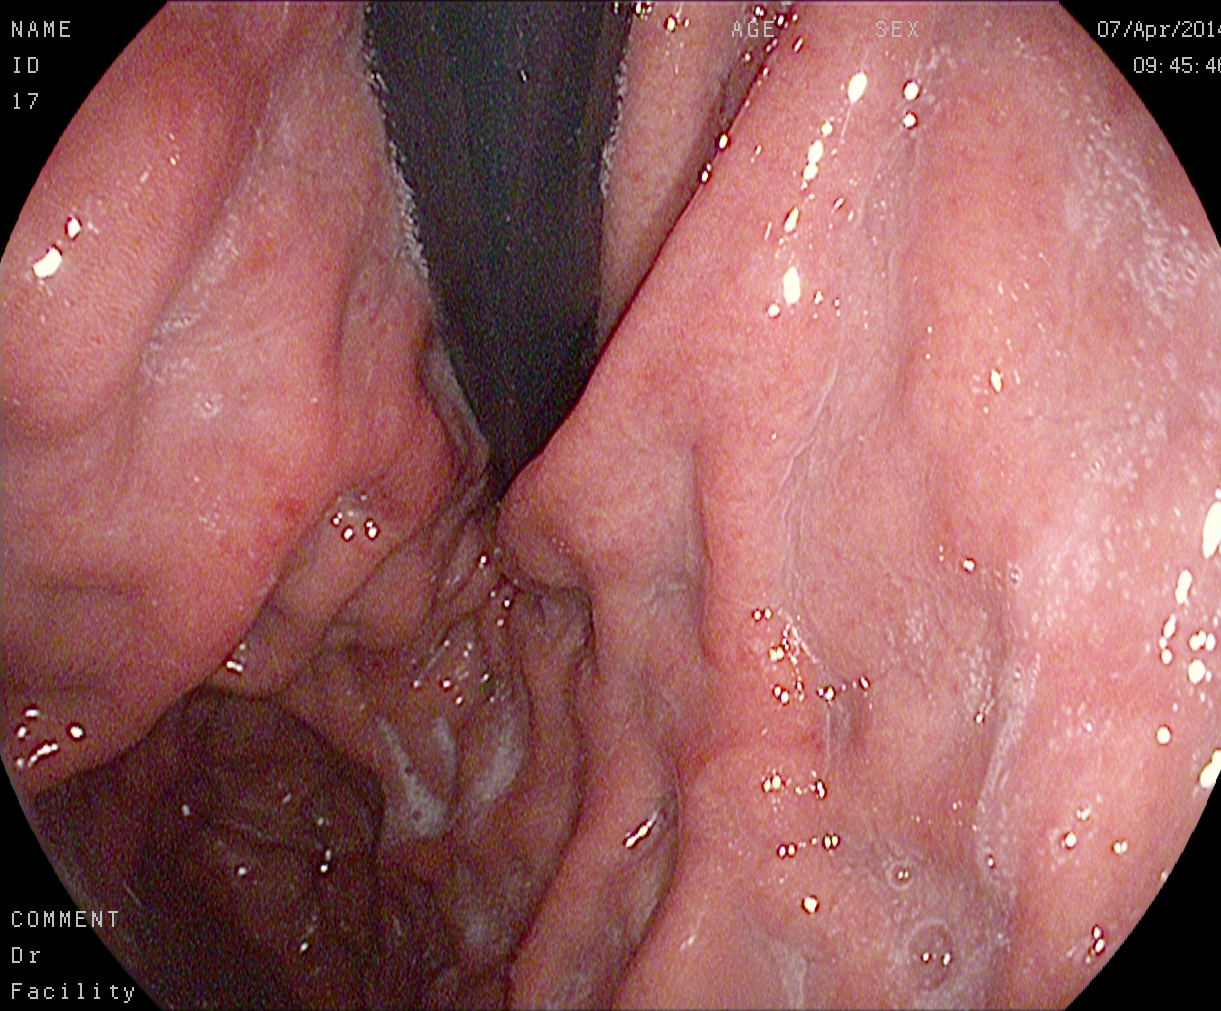PROCEDURE: Gastroscopy.
FINDINGS: Stomach in retroflexion.